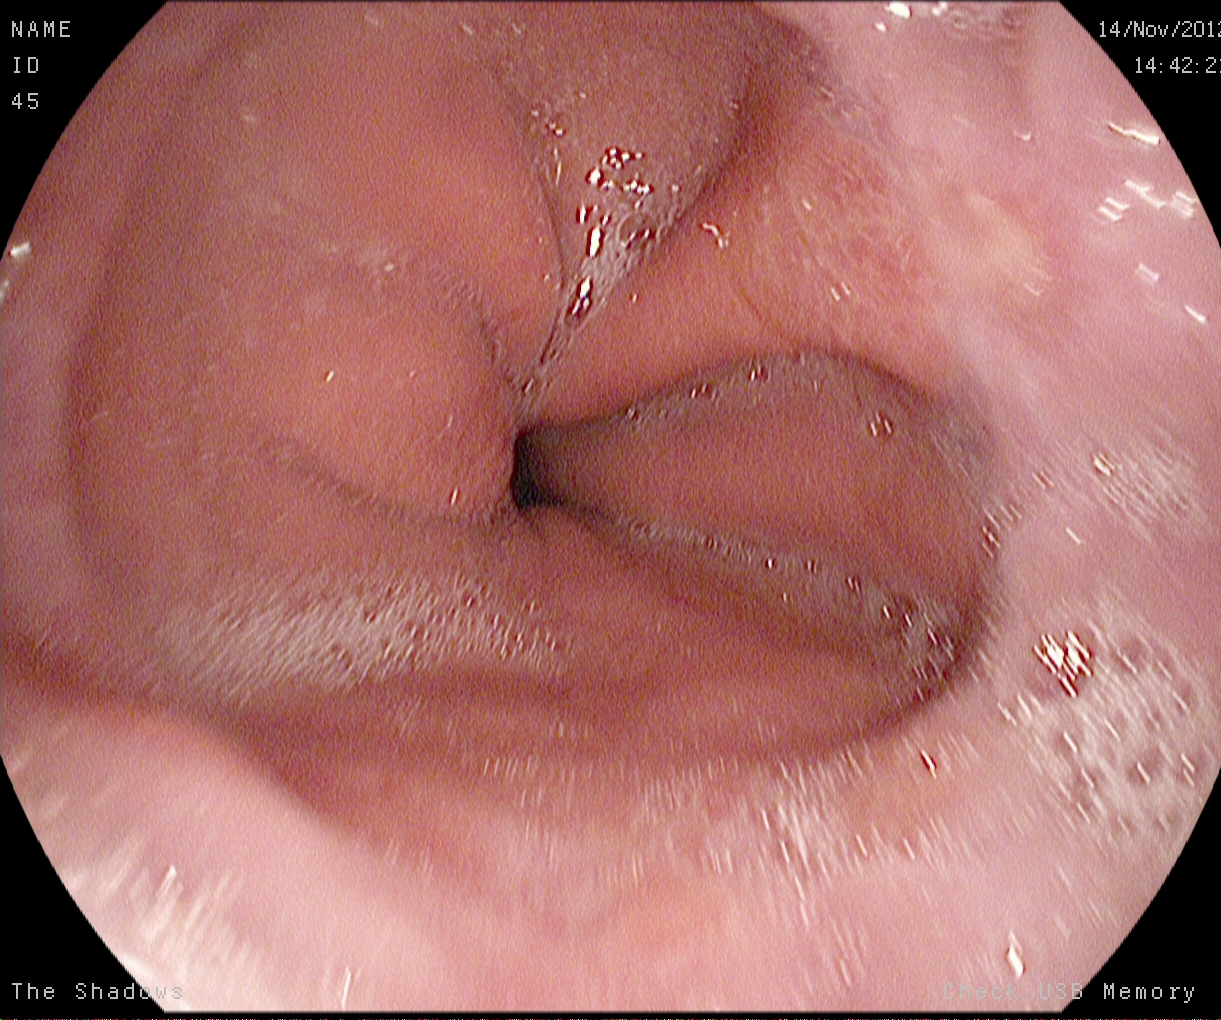reflux esophagitis, Los Angeles grade A.